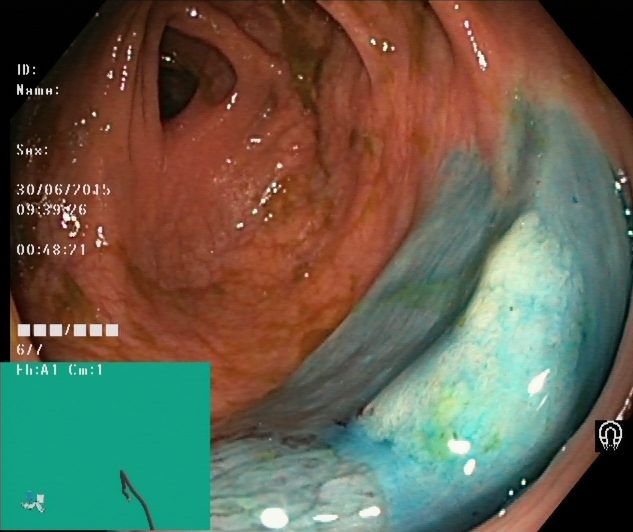modality: lower-GI endoscopy
tract: lower GI tract
finding: dyed and lifted polyp (pre-resection)